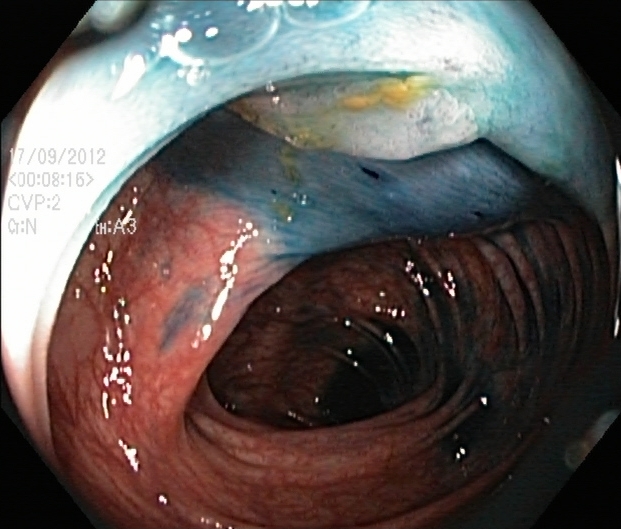Colonoscopy. Tract: lower GI tract. Finding: dyed and lifted polyp (pre-resection).